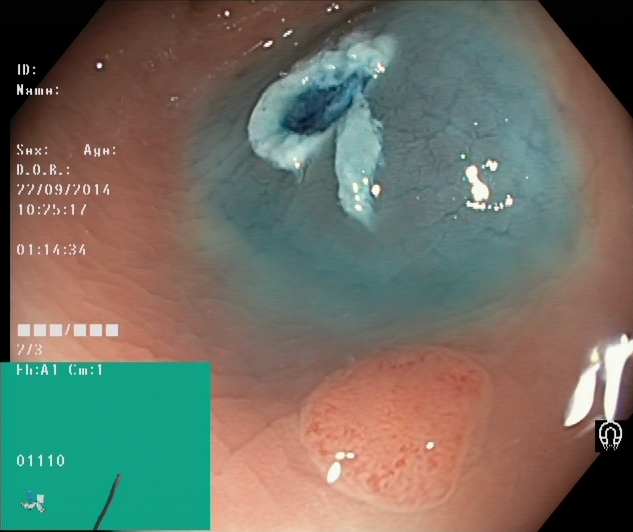Dyed resection margins (post-polypectomy).